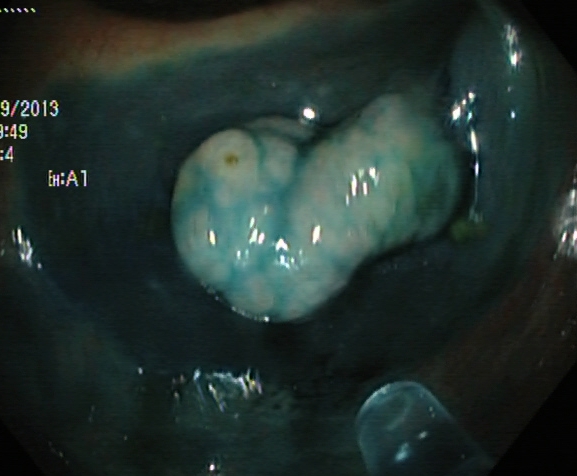{"modality": "lower-GI endoscopy", "finding": "dyed and lifted polyp (pre-resection)"}